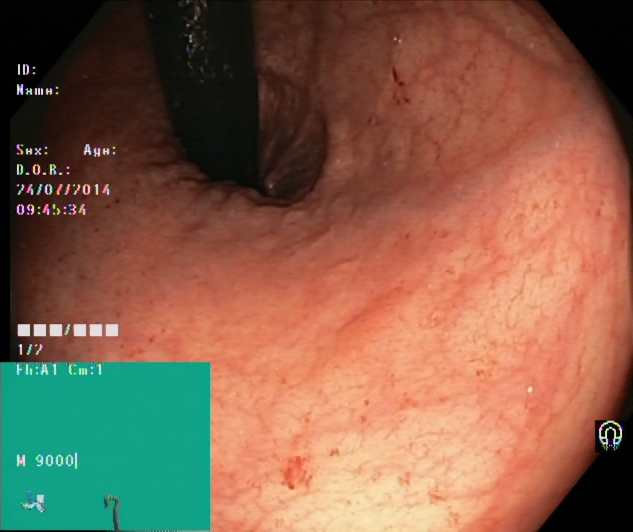{"modality": "colonoscopy", "category": "anatomical landmark", "finding": "rectum in retroflexion"}